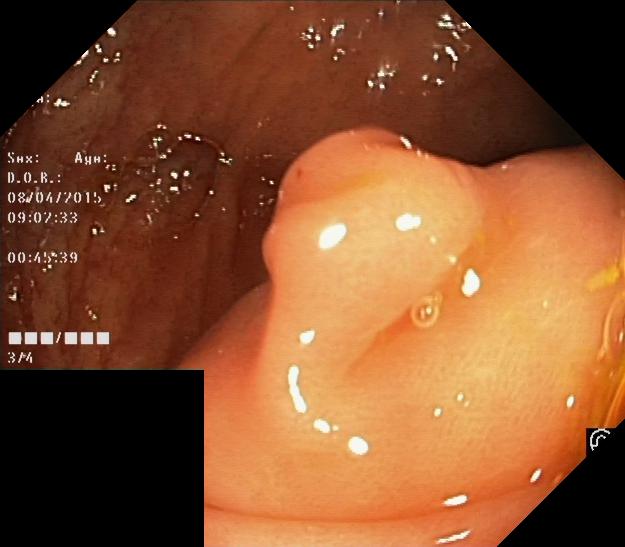Colonoscopy — colorectal polyp(s).